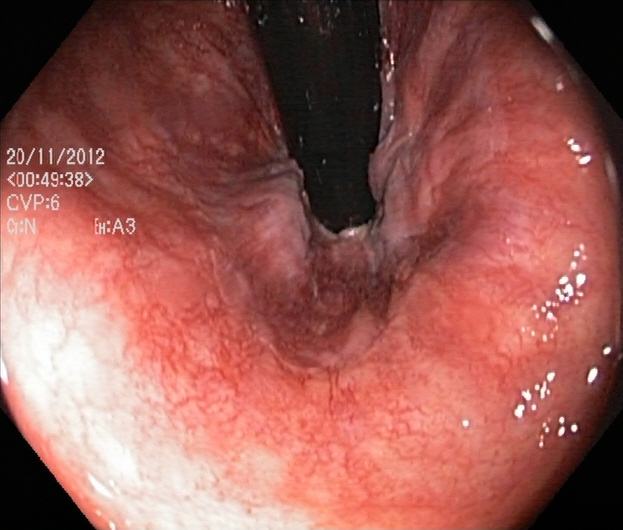PROCEDURE: Lower gastrointestinal endoscopy.
CATEGORY: Anatomical landmark.
FINDINGS: Rectum in retroflexion.